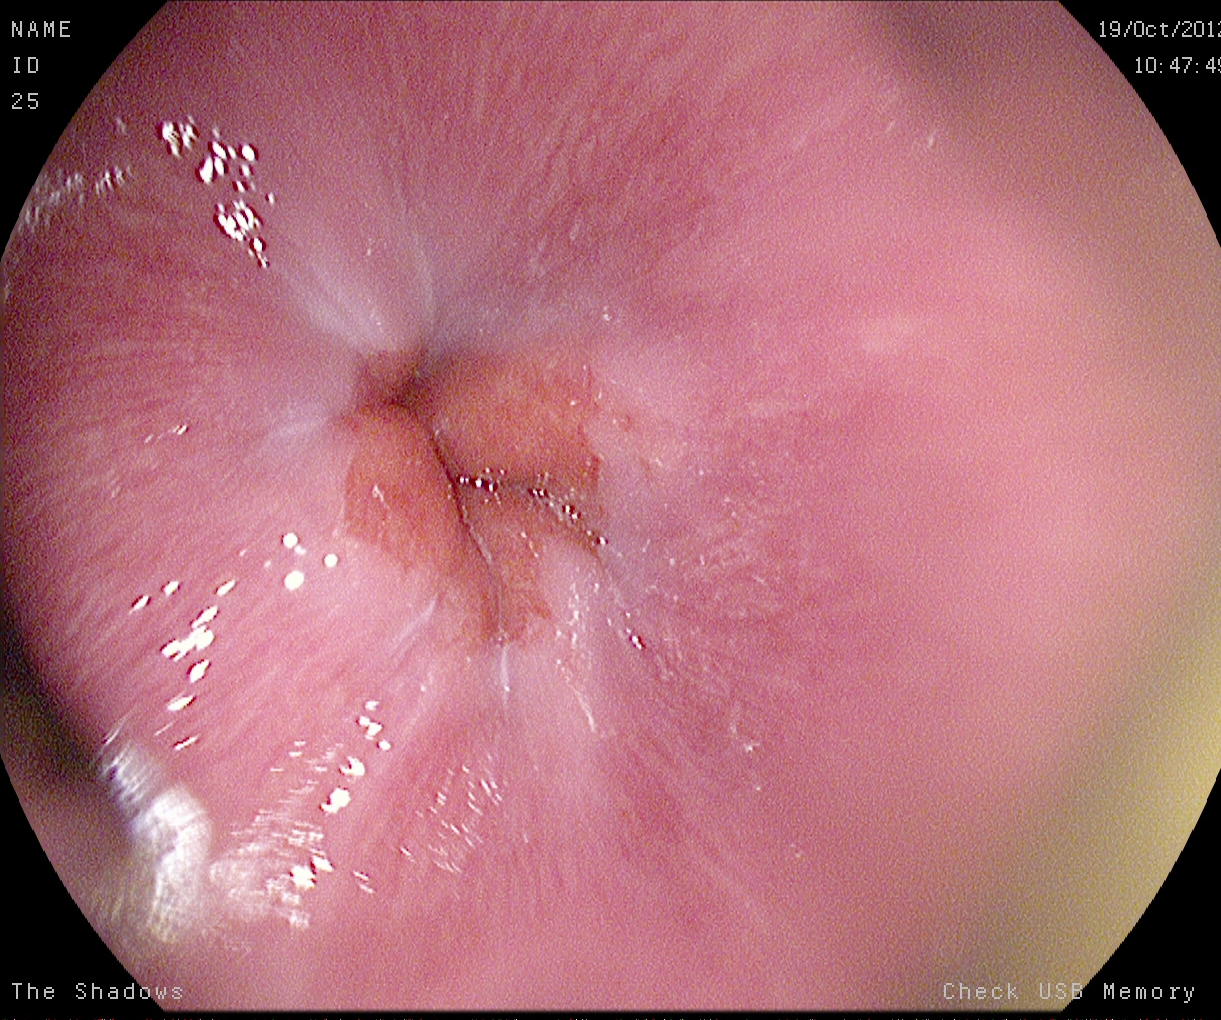Upper-GI endoscopy. Tract: upper GI tract. Anatomical landmark. Finding: Z-line (gastroesophageal junction).